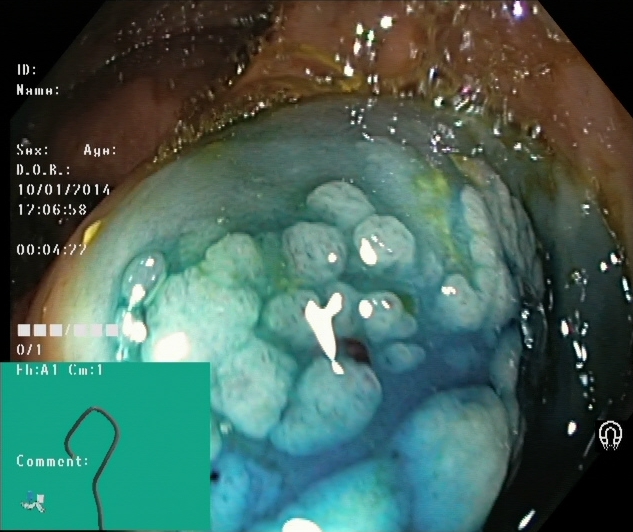{"modality": "lower-GI endoscopy", "tract": "lower GI tract", "finding": "dyed and lifted polyp (pre-resection)"}